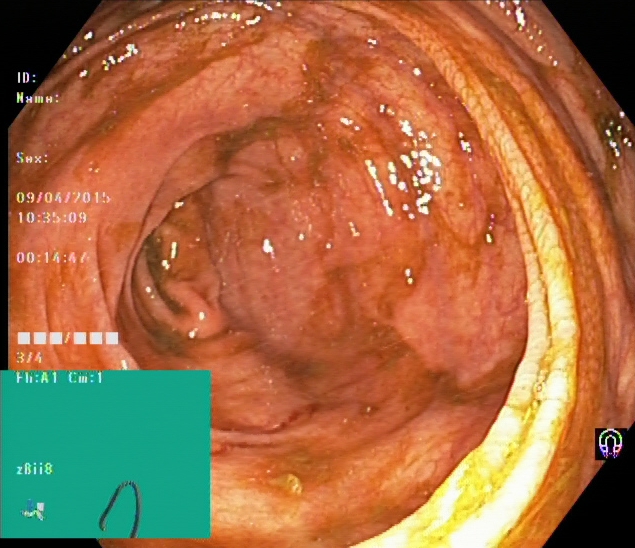cecum.